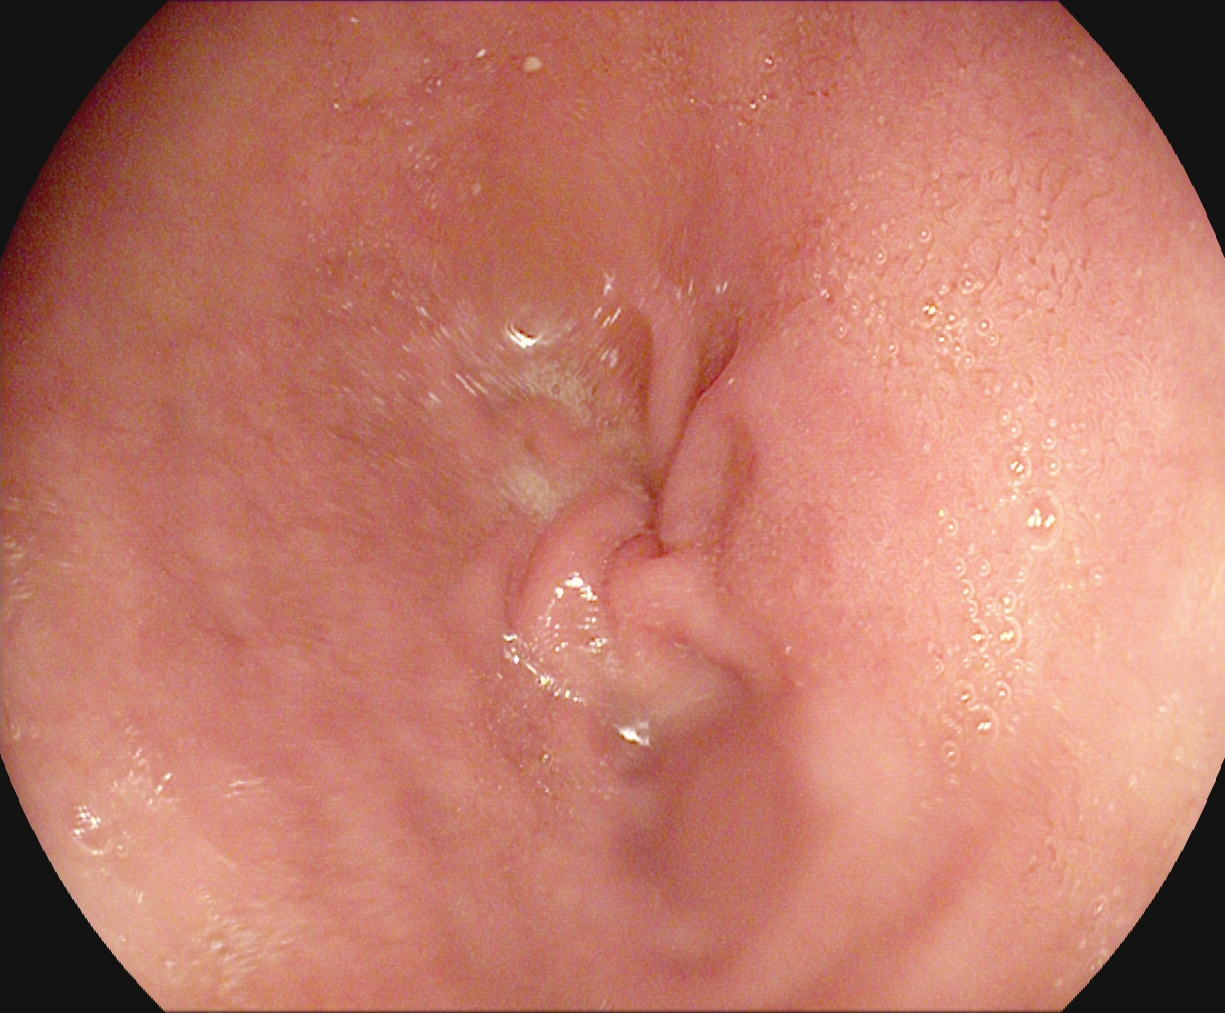Upper-GI endoscopy — pylorus.